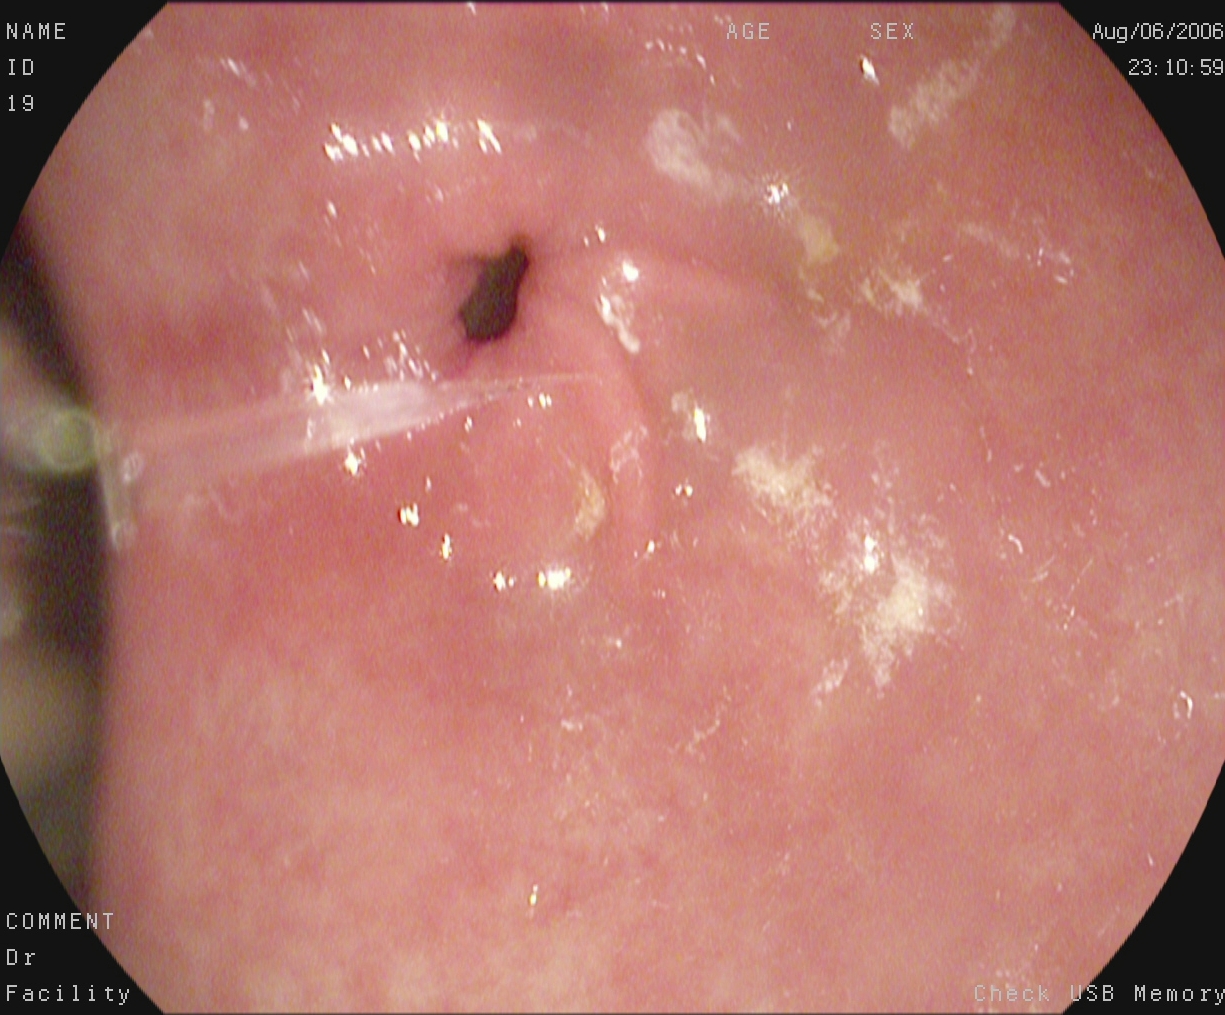EGD — pylorus.